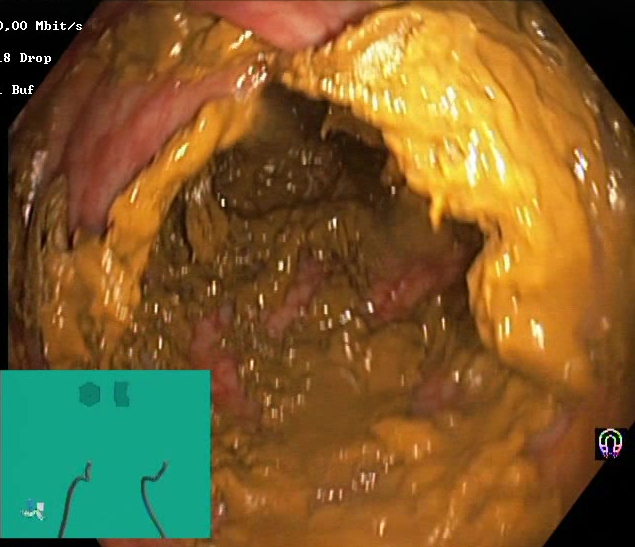{"modality": "colonoscopy", "finding": "BBPS score 0\u20131 (inadequate preparation)"}